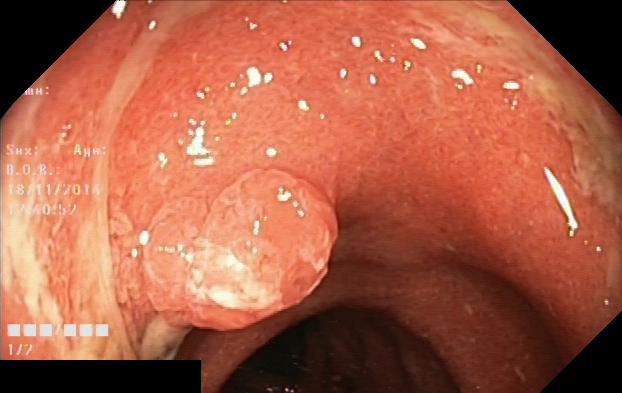colorectal polyp(s).